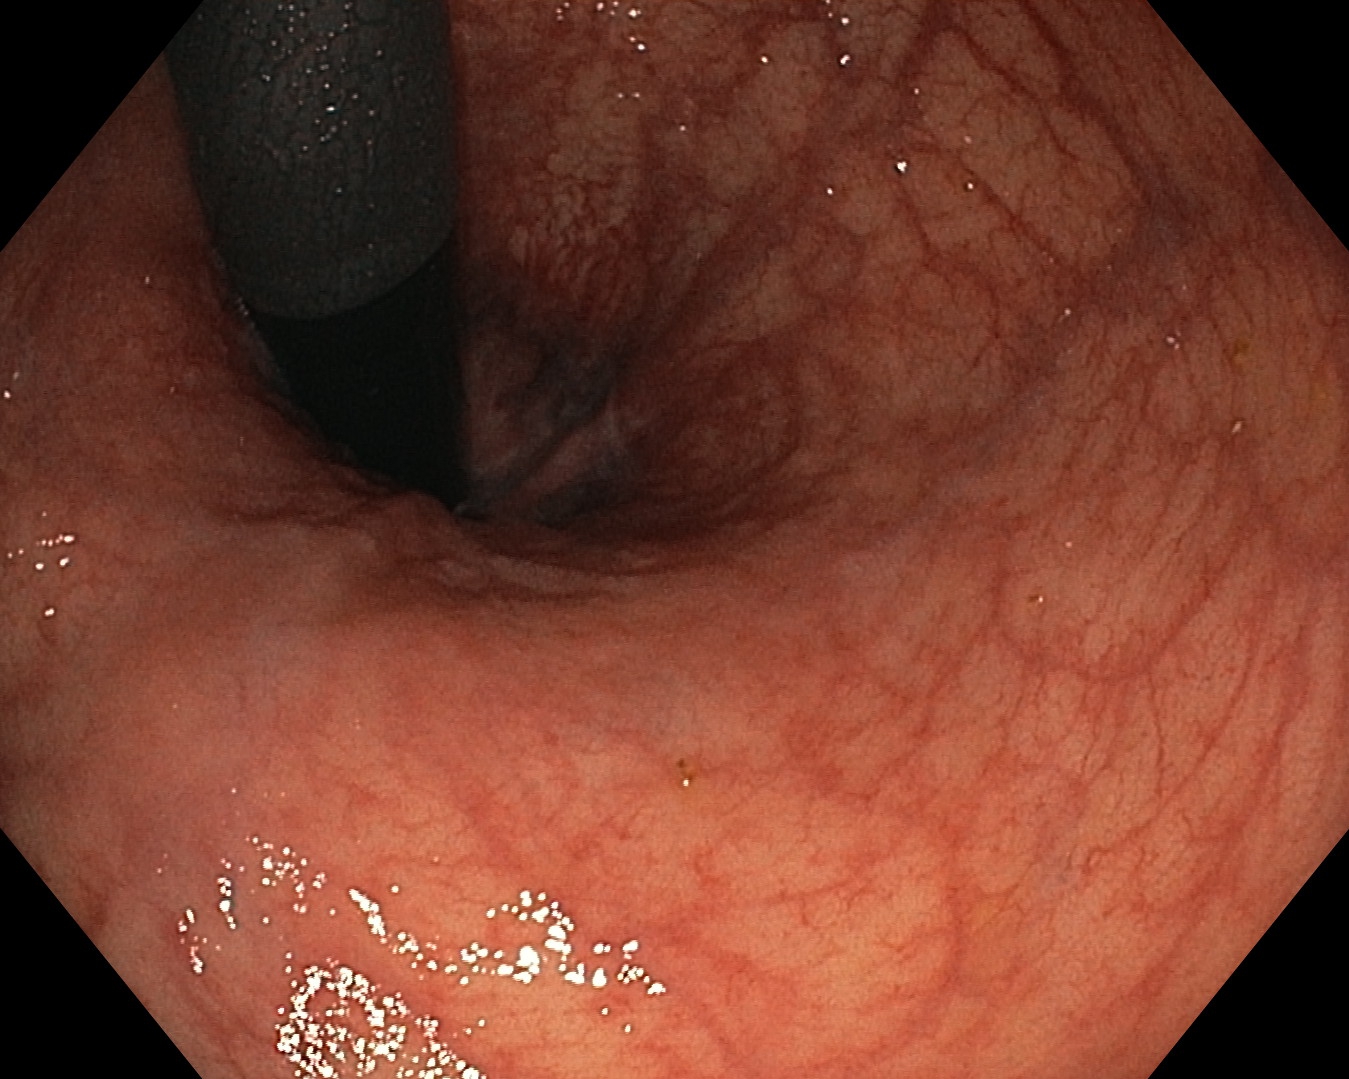Lower-GI endoscopy. Tract: lower GI tract. Finding: rectum in retroflexion.